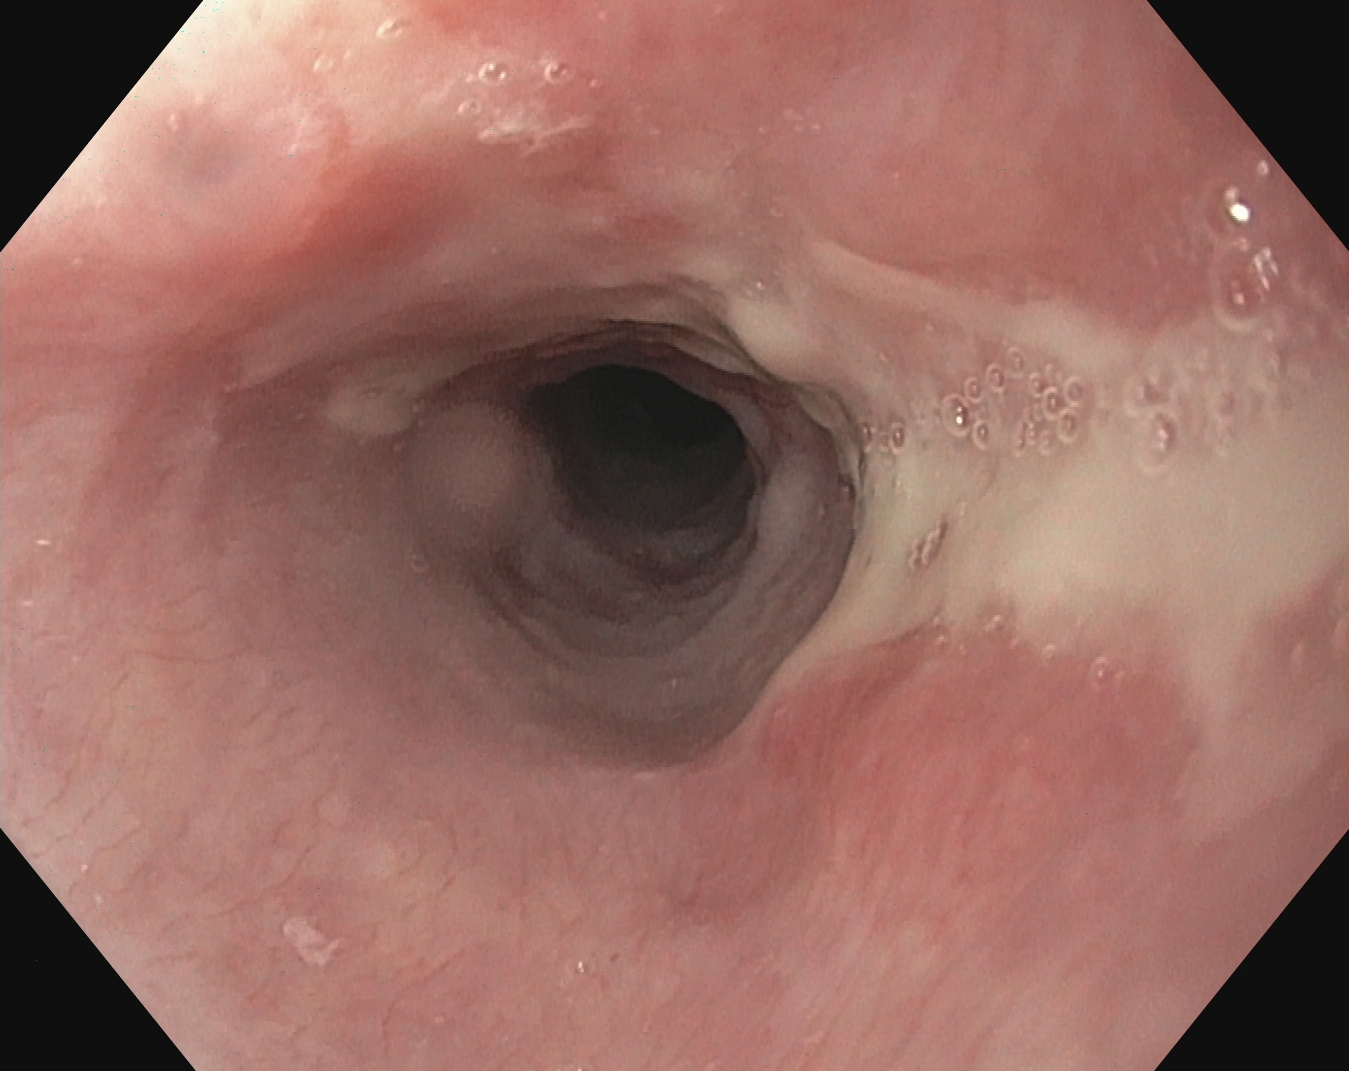EGD. Tract: upper GI tract. Finding: reflux esophagitis, LA grade B–D.